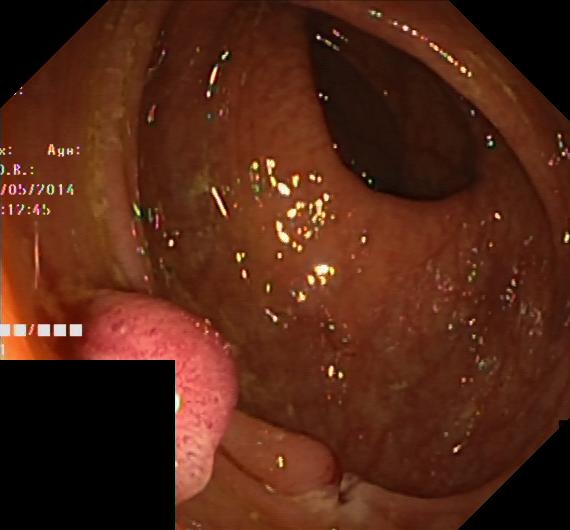colorectal polyp(s).